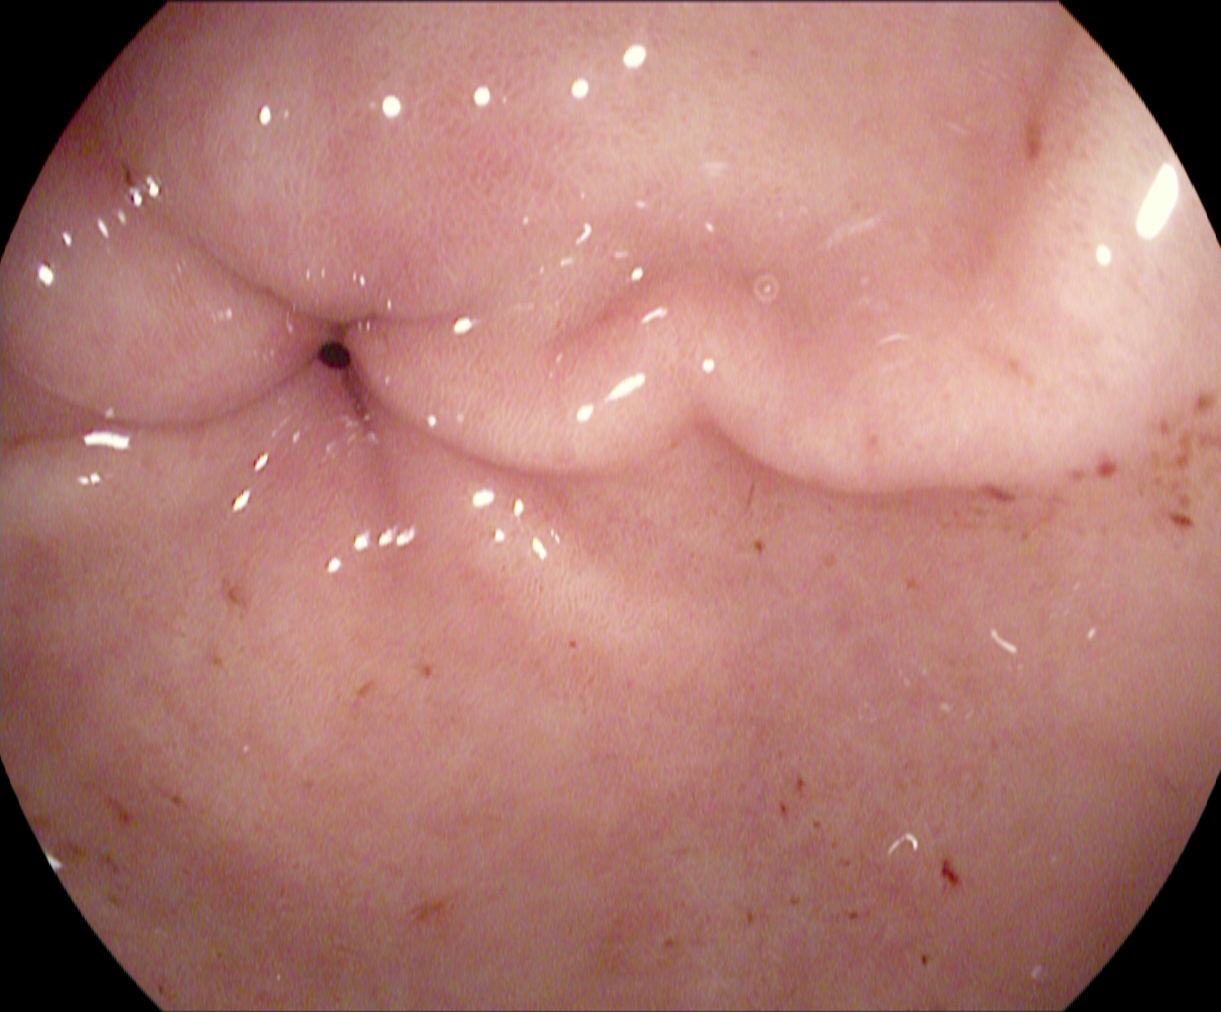{"modality": "gastroscopy", "tract": "upper GI tract", "finding": "pylorus"}